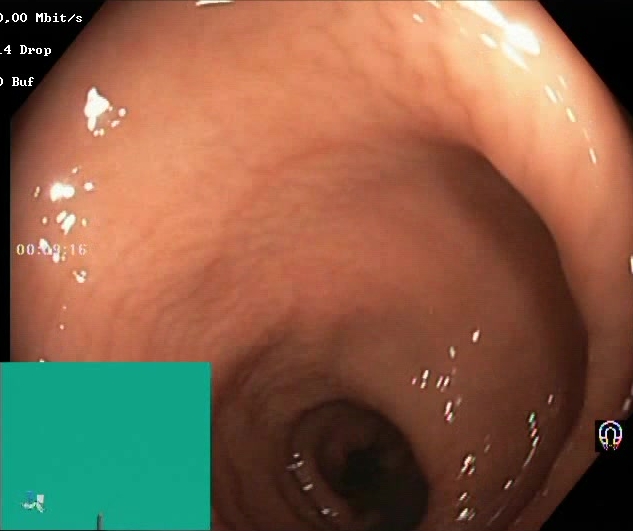Lower-GI endoscopy. Tract: lower GI tract. Finding: BBPS score 2–3 (adequate preparation).